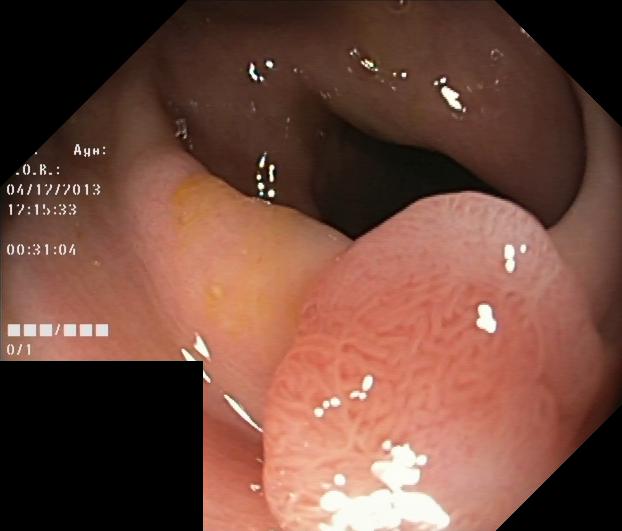Colonoscopy. Tract: lower GI tract. Finding: colorectal polyp(s).